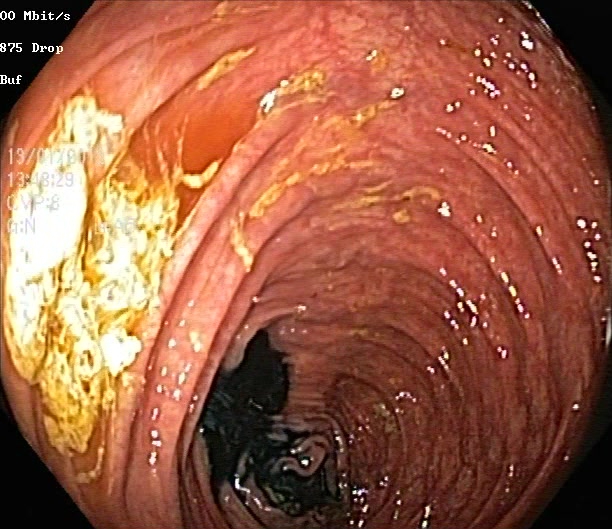PROCEDURE: Lower-GI endoscopy.
CATEGORY: Pathological finding.
FINDINGS: Ulcerative colitis, Mayo endoscopic subscore 1.